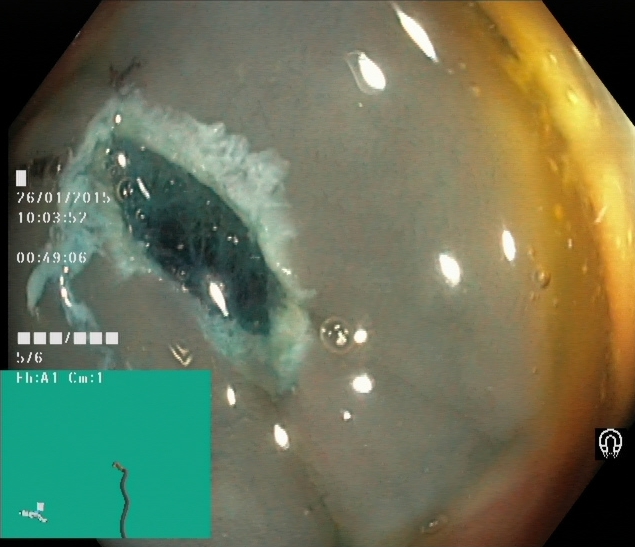Lower gastrointestinal endoscopy. Finding: dyed resection margins (post-polypectomy).